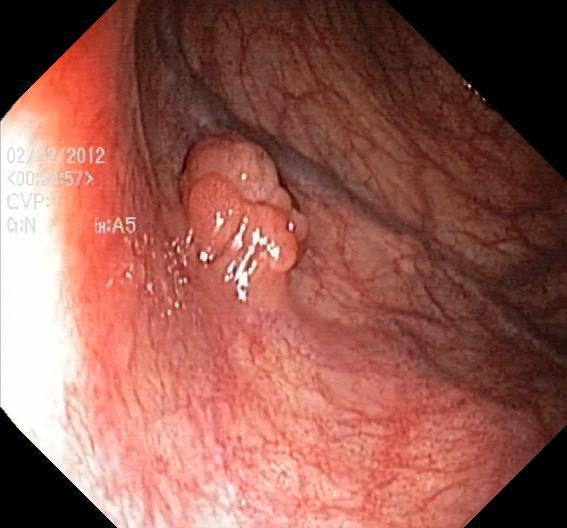This endoscopy frame of the lower GI tract shows colorectal polyp(s).